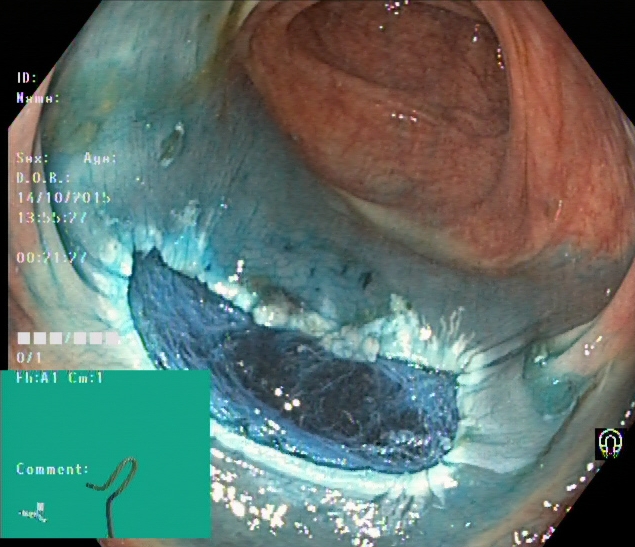{"modality": "lower gastrointestinal endoscopy", "tract": "lower GI tract", "category": "therapeutic intervention", "finding": "dyed resection margins (post-polypectomy)"}